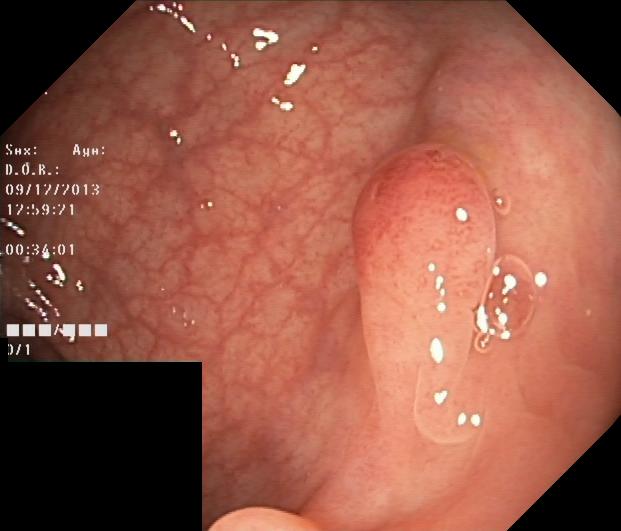Lower-GI endoscopy. Finding: colorectal polyp(s).